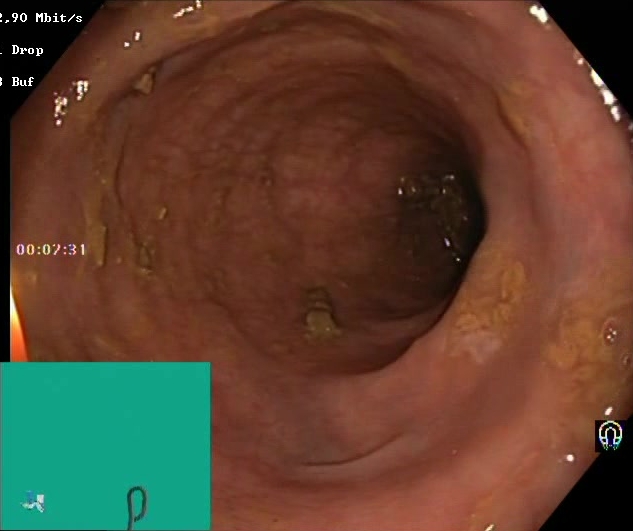PROCEDURE: Colonoscopy.
FINDINGS: Boston Bowel Preparation Scale score 2–3 (adequate preparation).